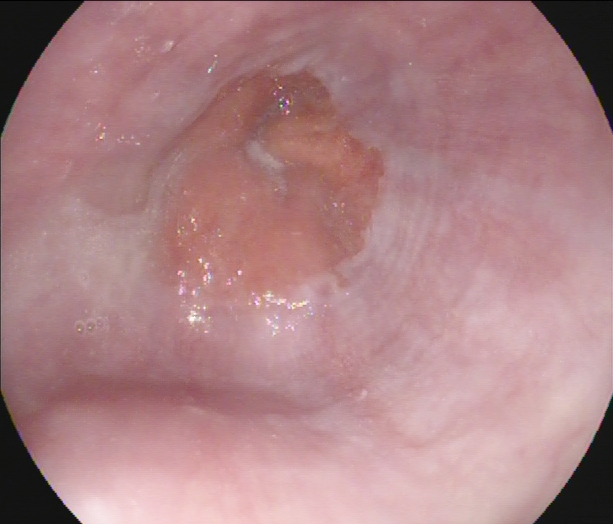Upper-GI endoscopy image of the upper GI tract showing Z-line (gastroesophageal junction).